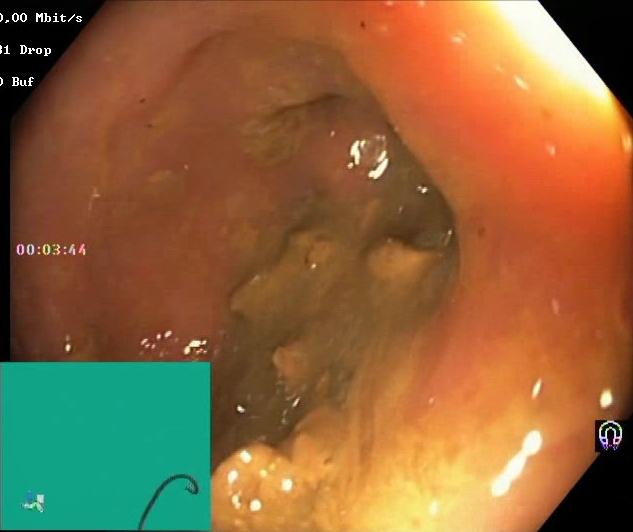Lower-GI endoscopy — Boston Bowel Preparation Scale score 0–1 (inadequate preparation).